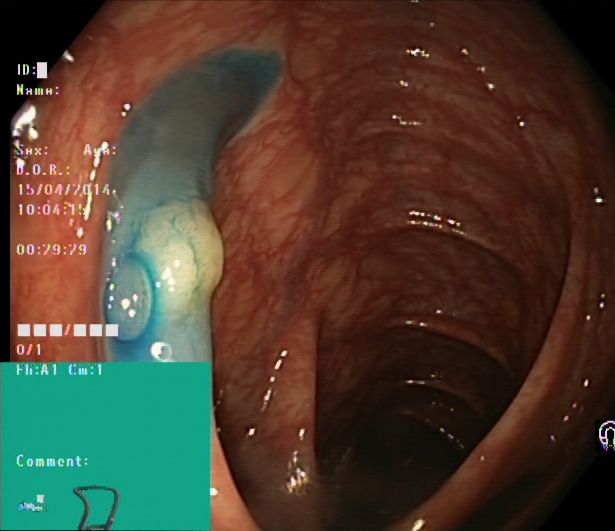This endoscopy frame of the lower GI tract shows dyed and lifted polyp (pre-resection).